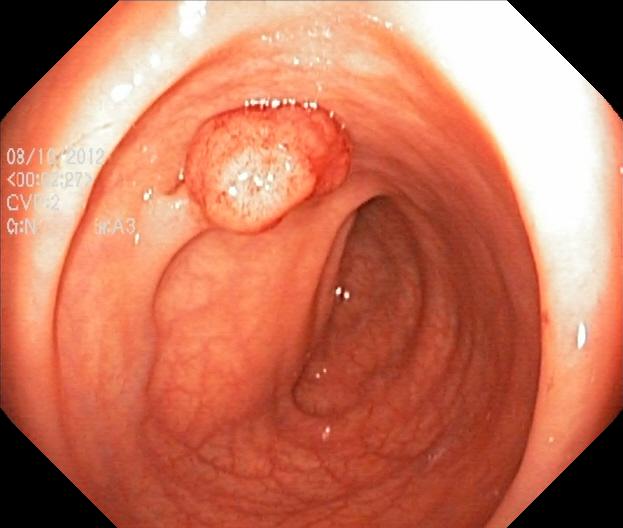modality: colonoscopy; tract: lower GI tract; finding: colorectal polyp(s)